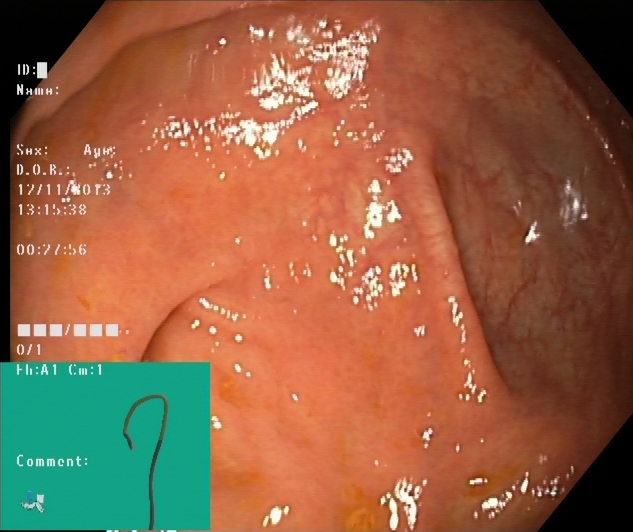GI endoscopy image of the lower GI tract showing cecum.